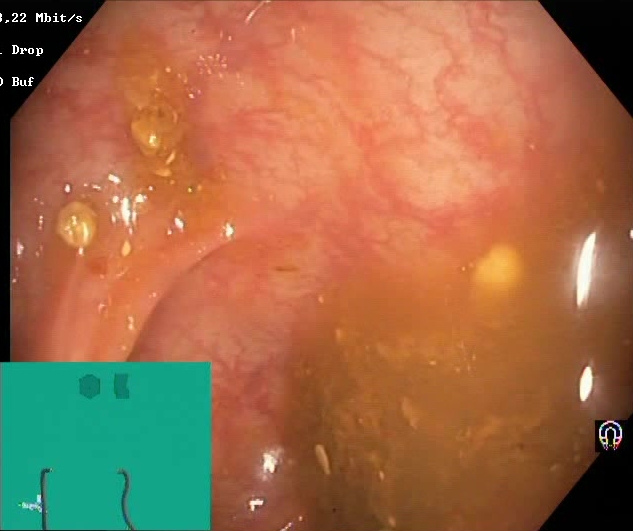Gastrointestinal endoscopy image showing Boston Bowel Preparation Scale score 0–1 (inadequate preparation).